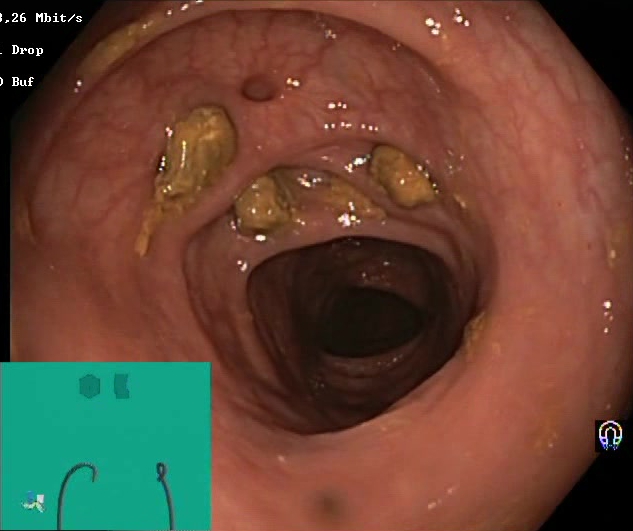This endoscopic image shows impacted stool.